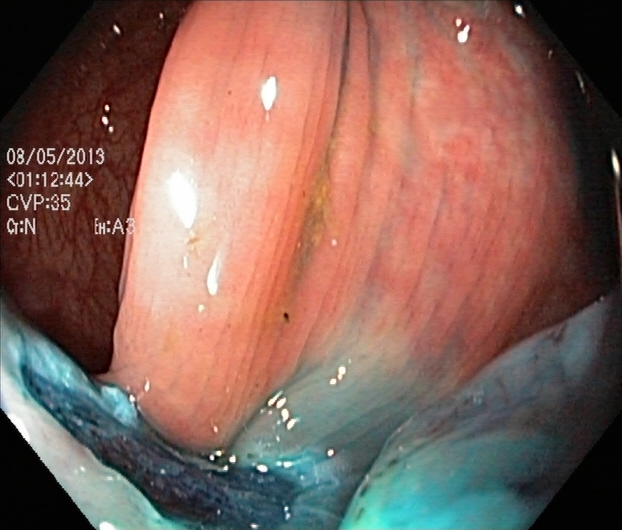Dyed resection margins (post-polypectomy).